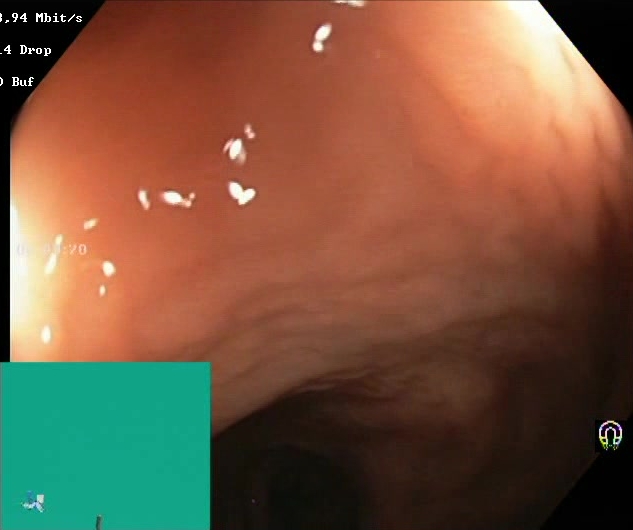GI endoscopy image of the lower GI tract showing Boston Bowel Preparation Scale score 2–3 (adequate preparation).